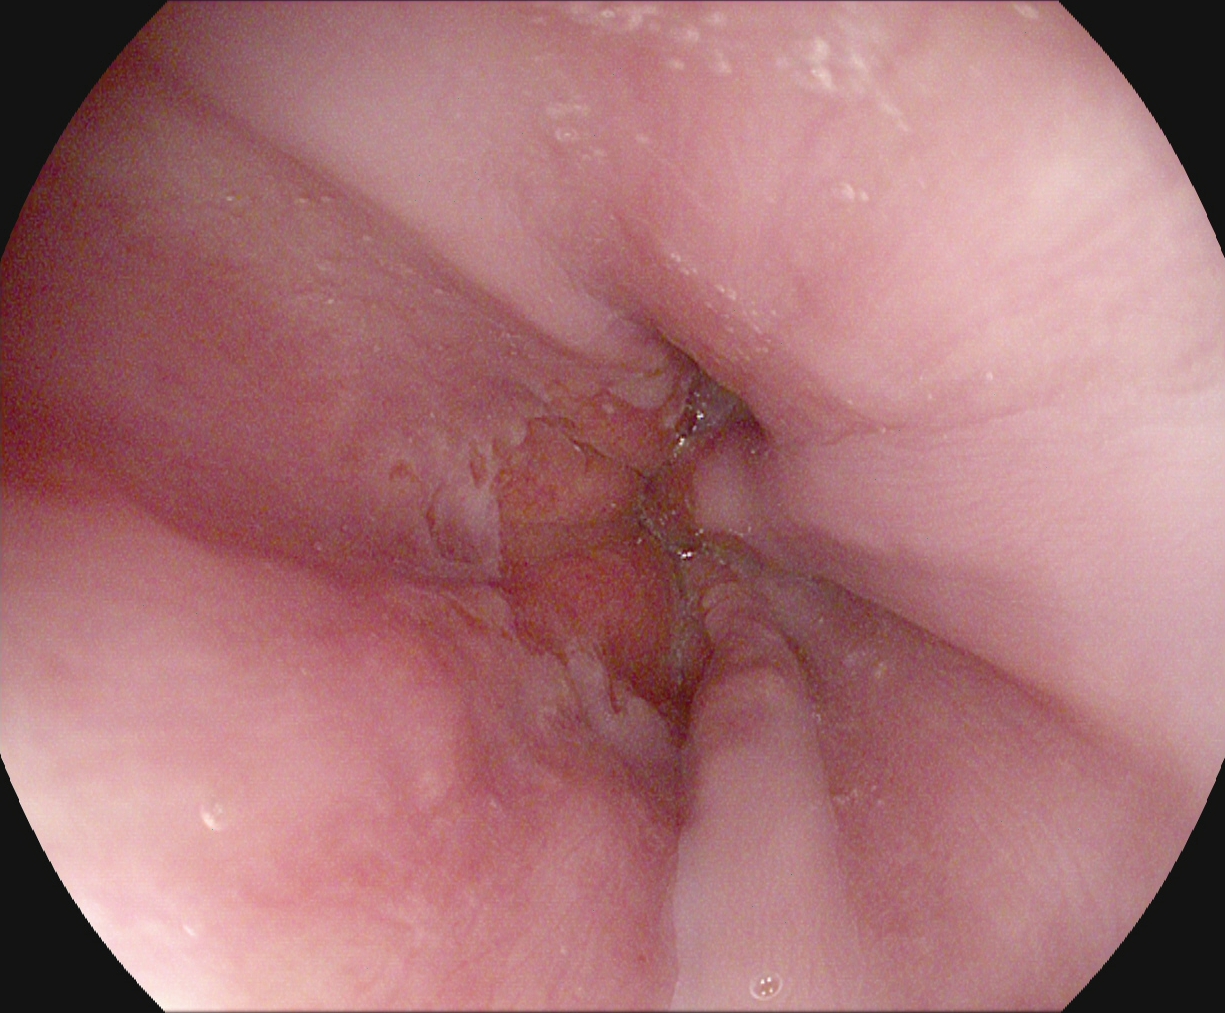modality: EGD; category: anatomical landmark; finding: Z-line (gastroesophageal junction)